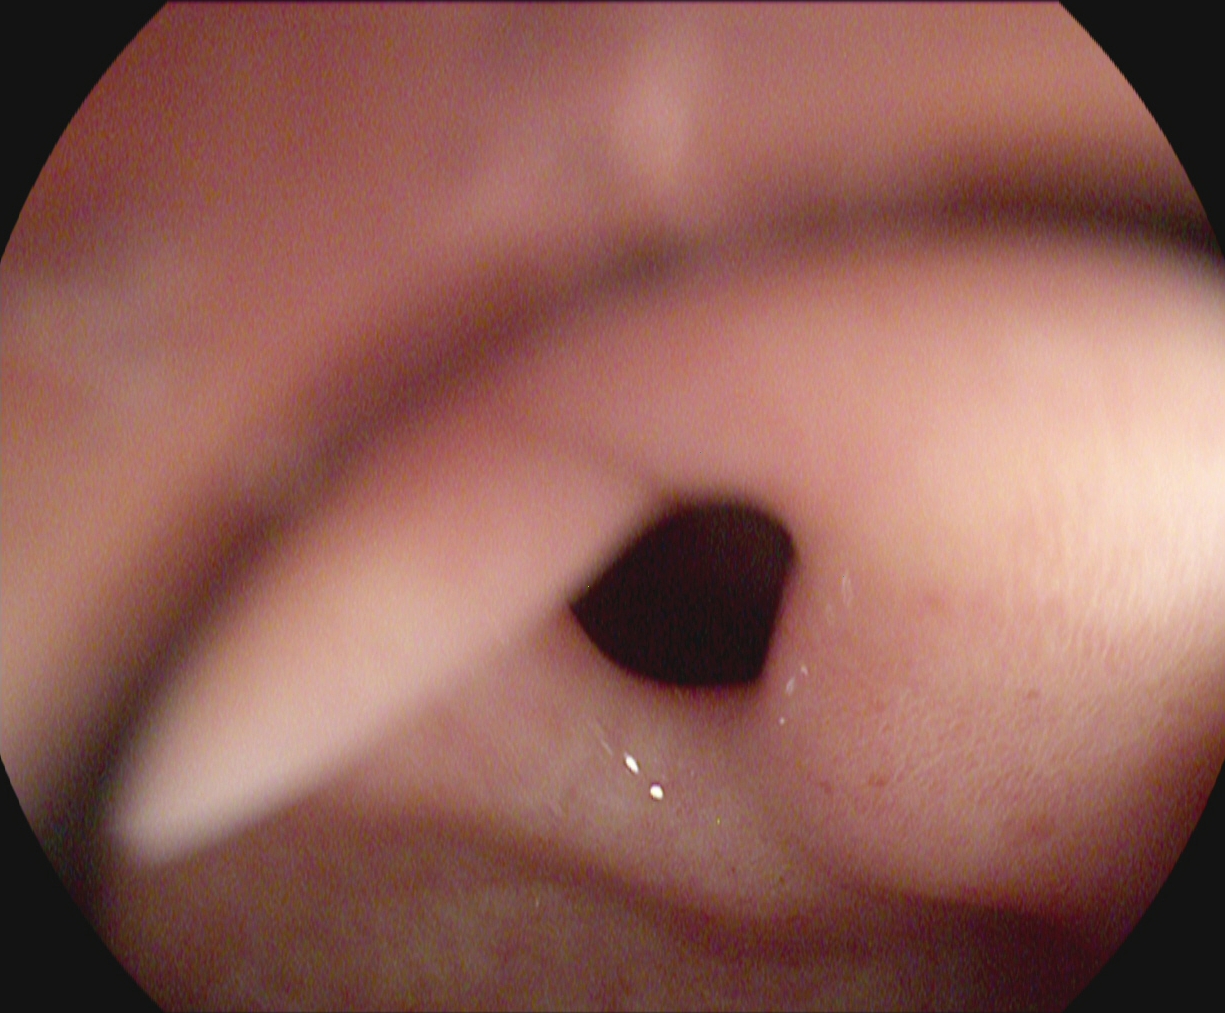pylorus.